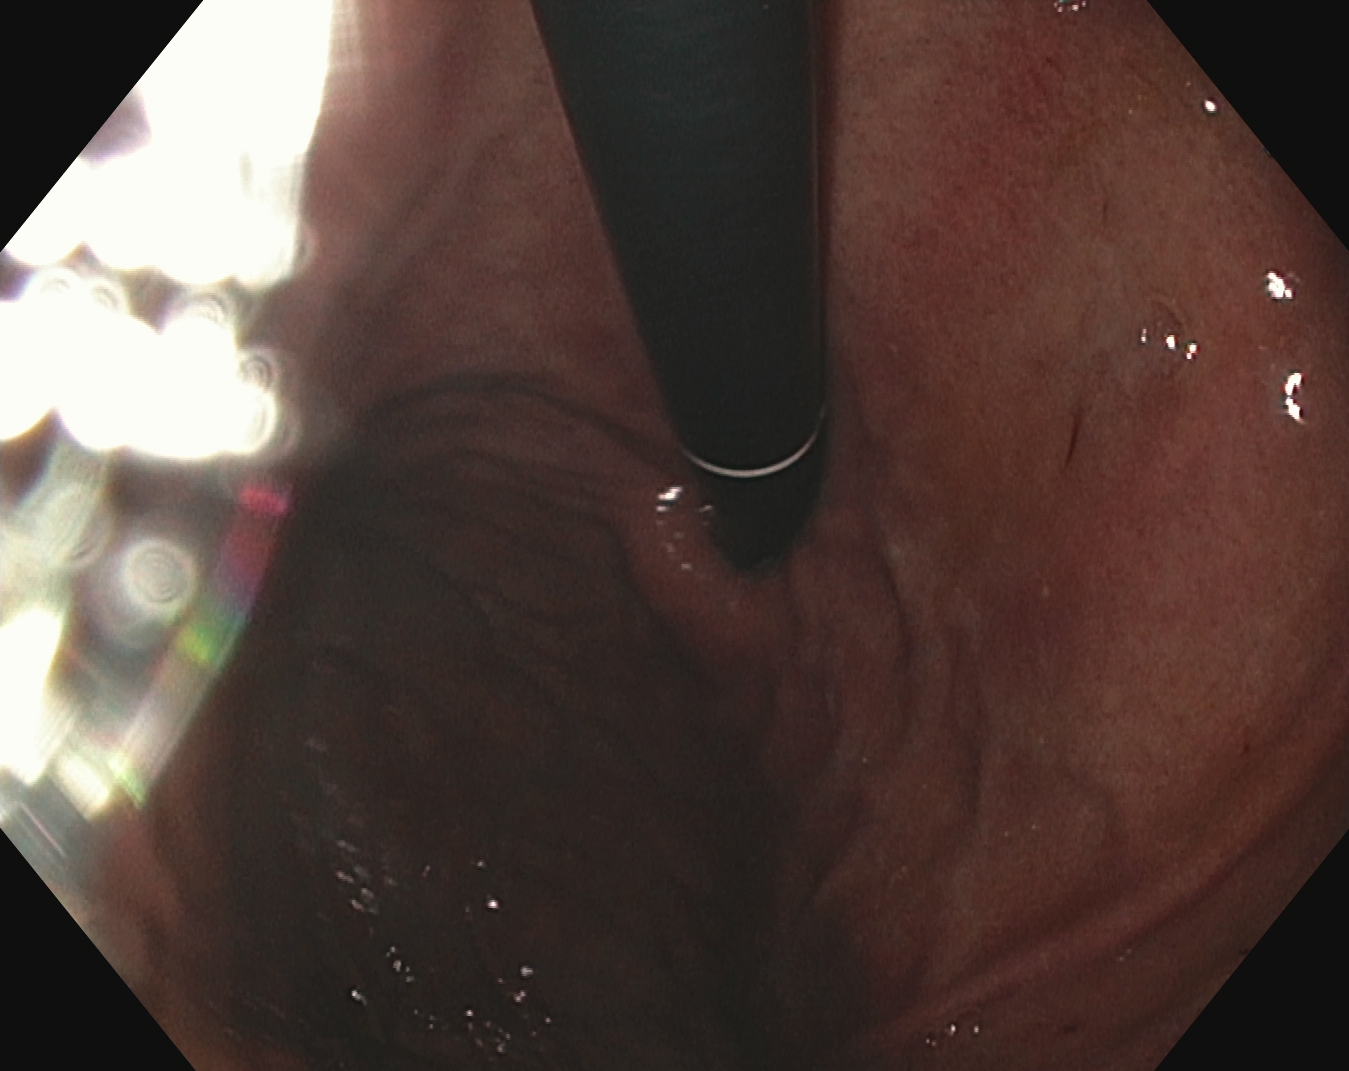PROCEDURE: Gastroscopy.
CATEGORY: Anatomical landmark.
FINDINGS: Stomach in retroflexion.